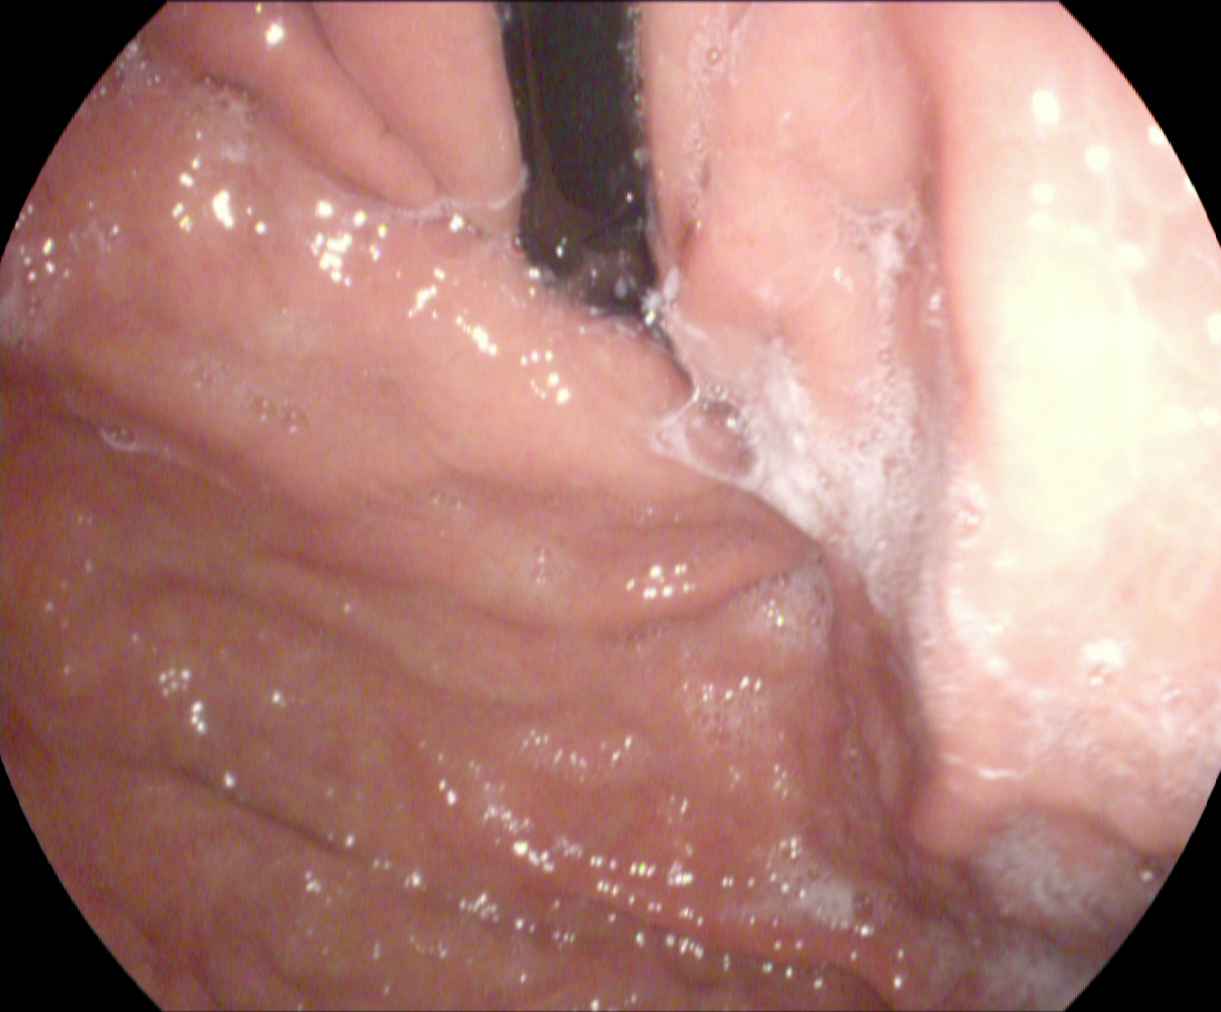Esophagogastroduodenoscopy. Tract: upper GI tract. Anatomical landmark. Finding: stomach in retroflexion.